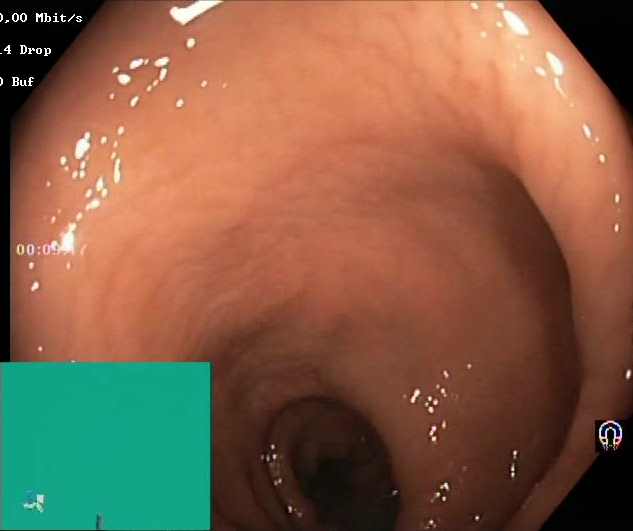Boston Bowel Preparation Scale score 2–3 (adequate preparation).